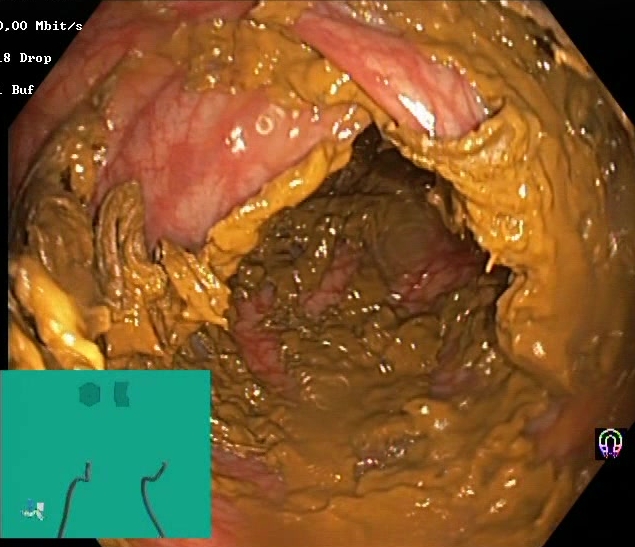{"modality": "colonoscopy", "tract": "lower GI tract", "category": "mucosal-view quality", "finding": "Boston Bowel Preparation Scale score 0\u20131 (inadequate preparation)"}